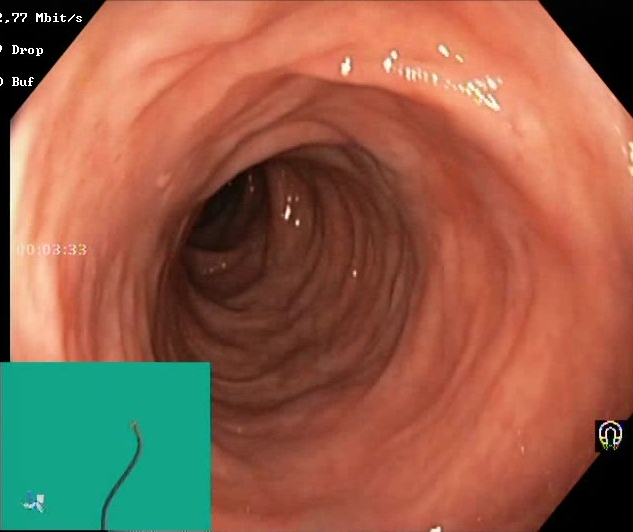Boston Bowel Preparation Scale score 2–3 (adequate preparation).